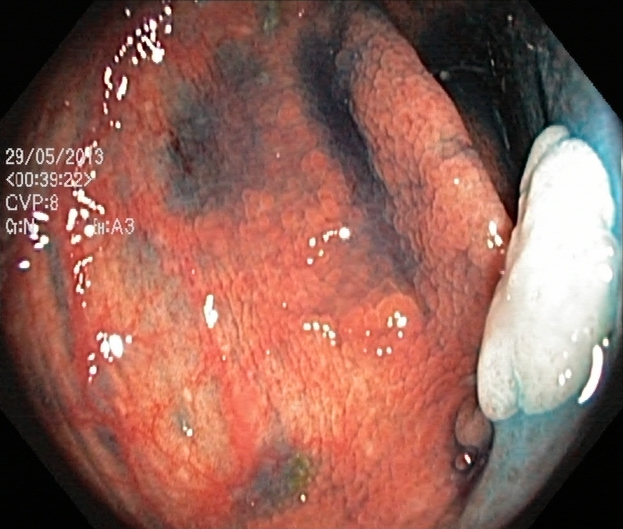PROCEDURE: Lower gastrointestinal endoscopy.
FINDINGS: Dyed and lifted polyp (pre-resection).